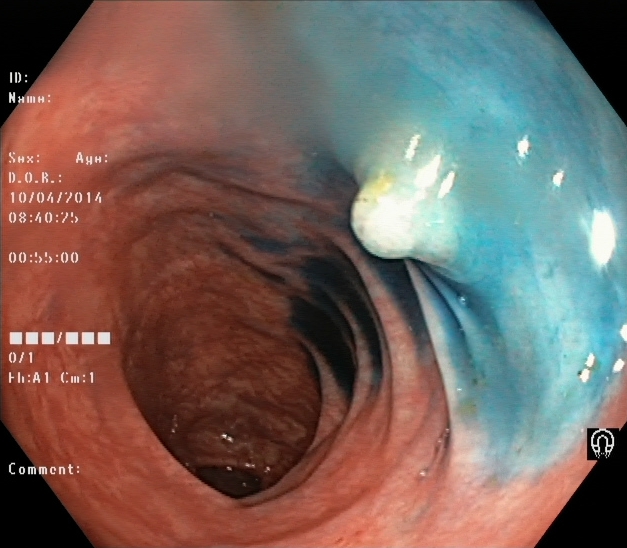modality: lower gastrointestinal endoscopy | tract: lower GI tract | finding: dyed and lifted polyp (pre-resection)